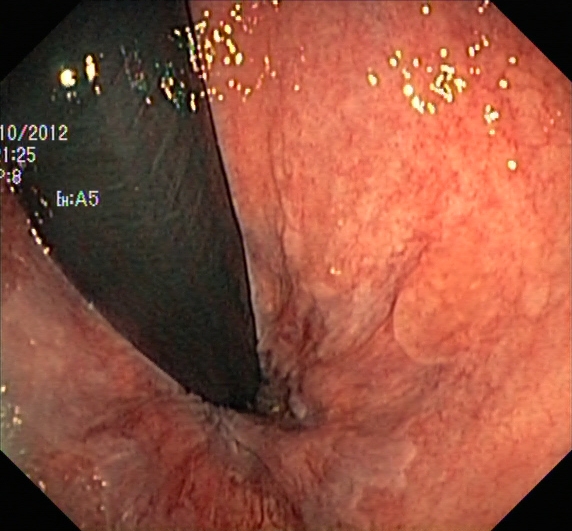This endoscopic image shows rectum in retroflexion.